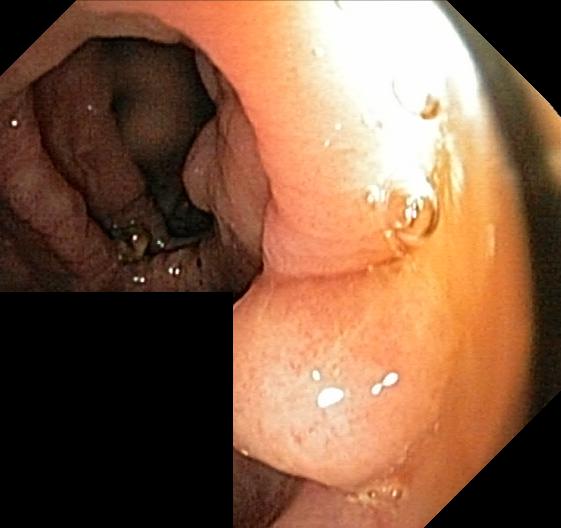{"modality": "lower gastrointestinal endoscopy", "tract": "lower GI tract", "finding": "colorectal polyp(s)"}